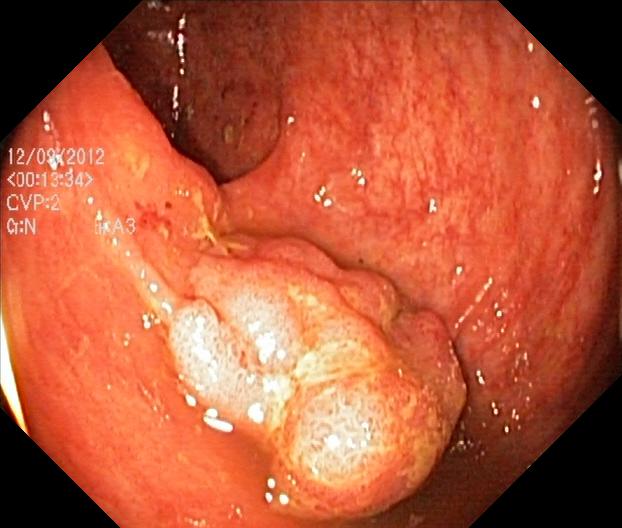This endoscopic image of the lower GI tract shows colorectal polyp(s).